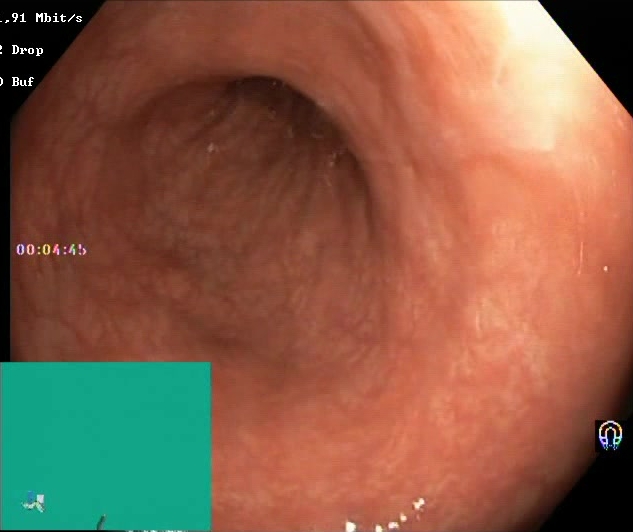{"modality": "lower gastrointestinal endoscopy", "category": "mucosal-view quality", "finding": "Boston Bowel Preparation Scale score 2\u20133 (adequate preparation)"}